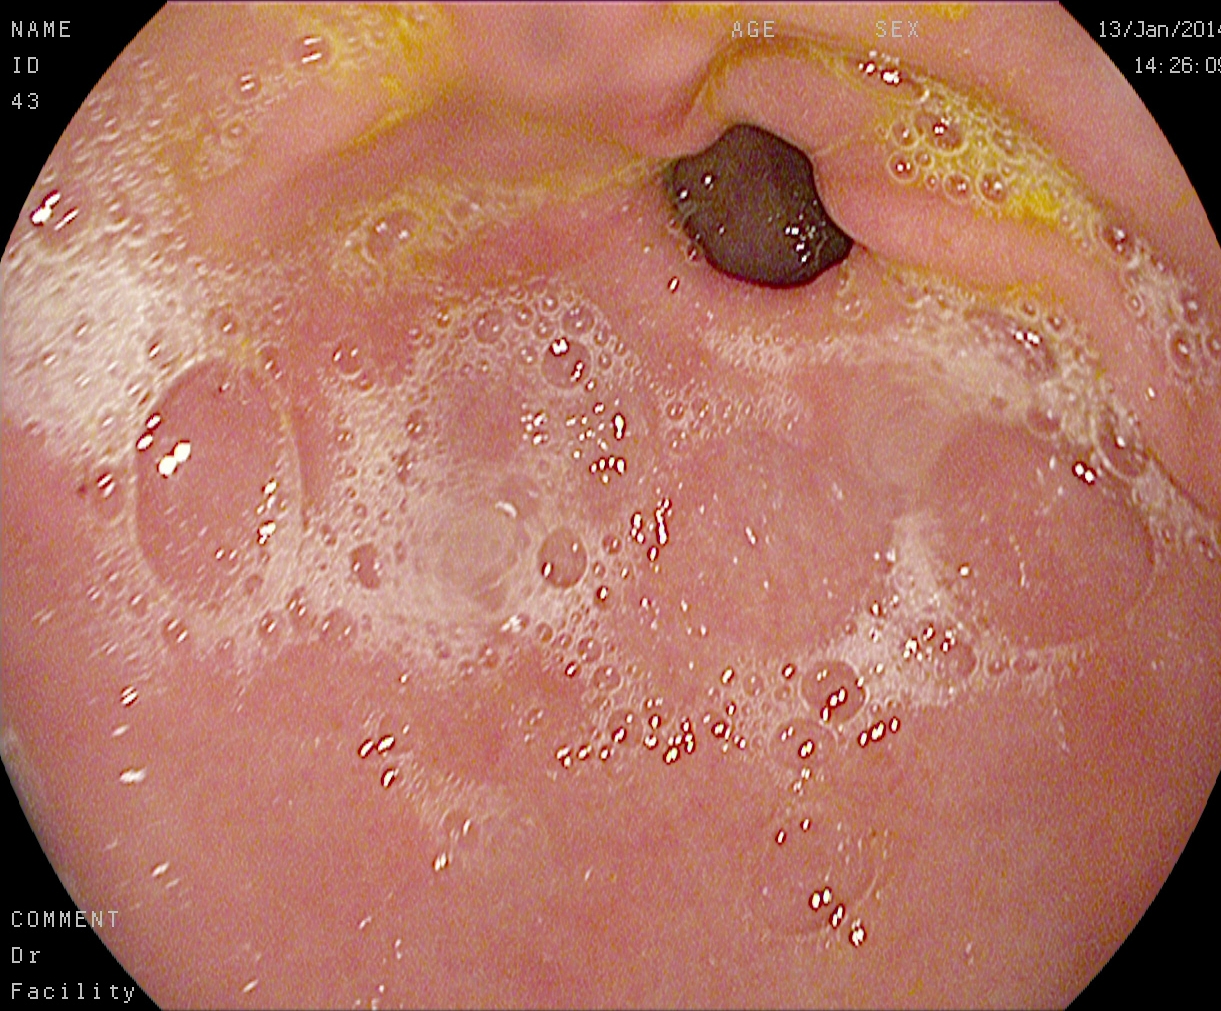Upper-GI endoscopy. Tract: upper GI tract. Anatomical landmark. Finding: pylorus.